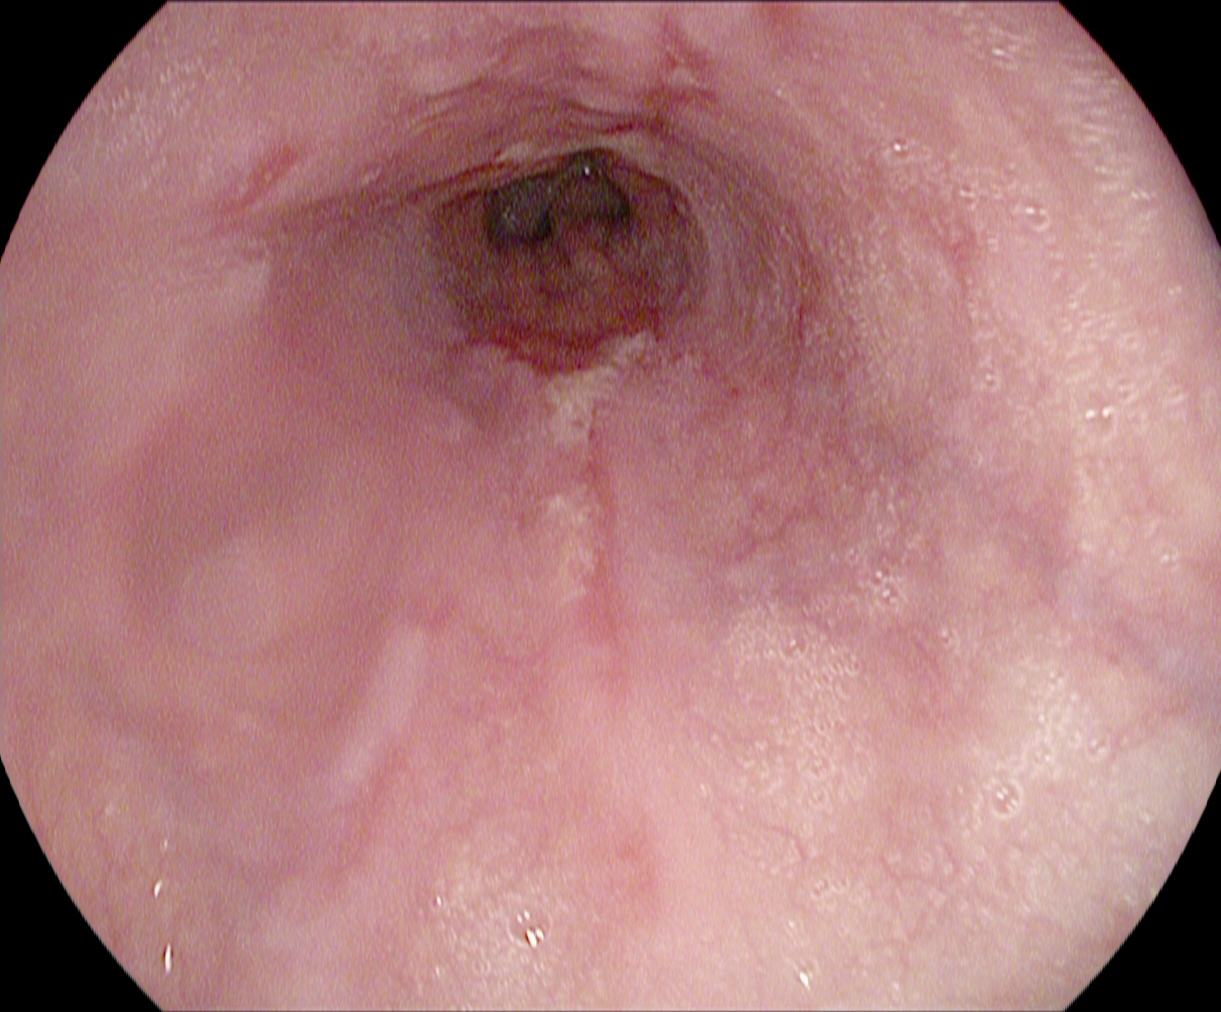Gastroscopy image of the upper GI tract showing reflux esophagitis, LA grade B–D.